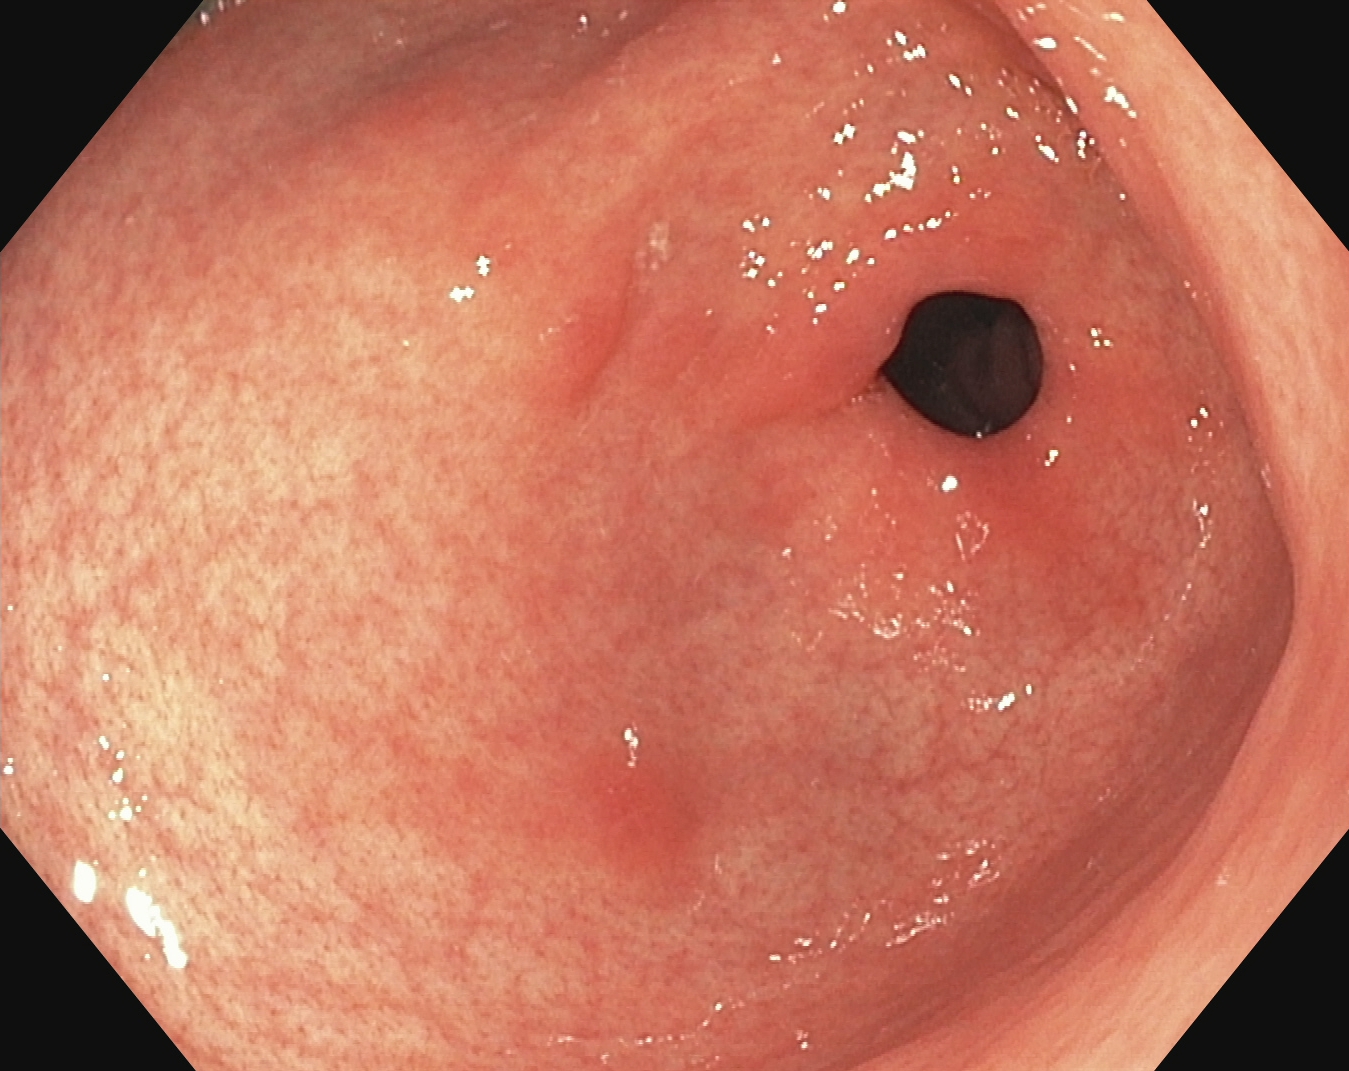This endoscopy frame of the upper GI tract shows pylorus.